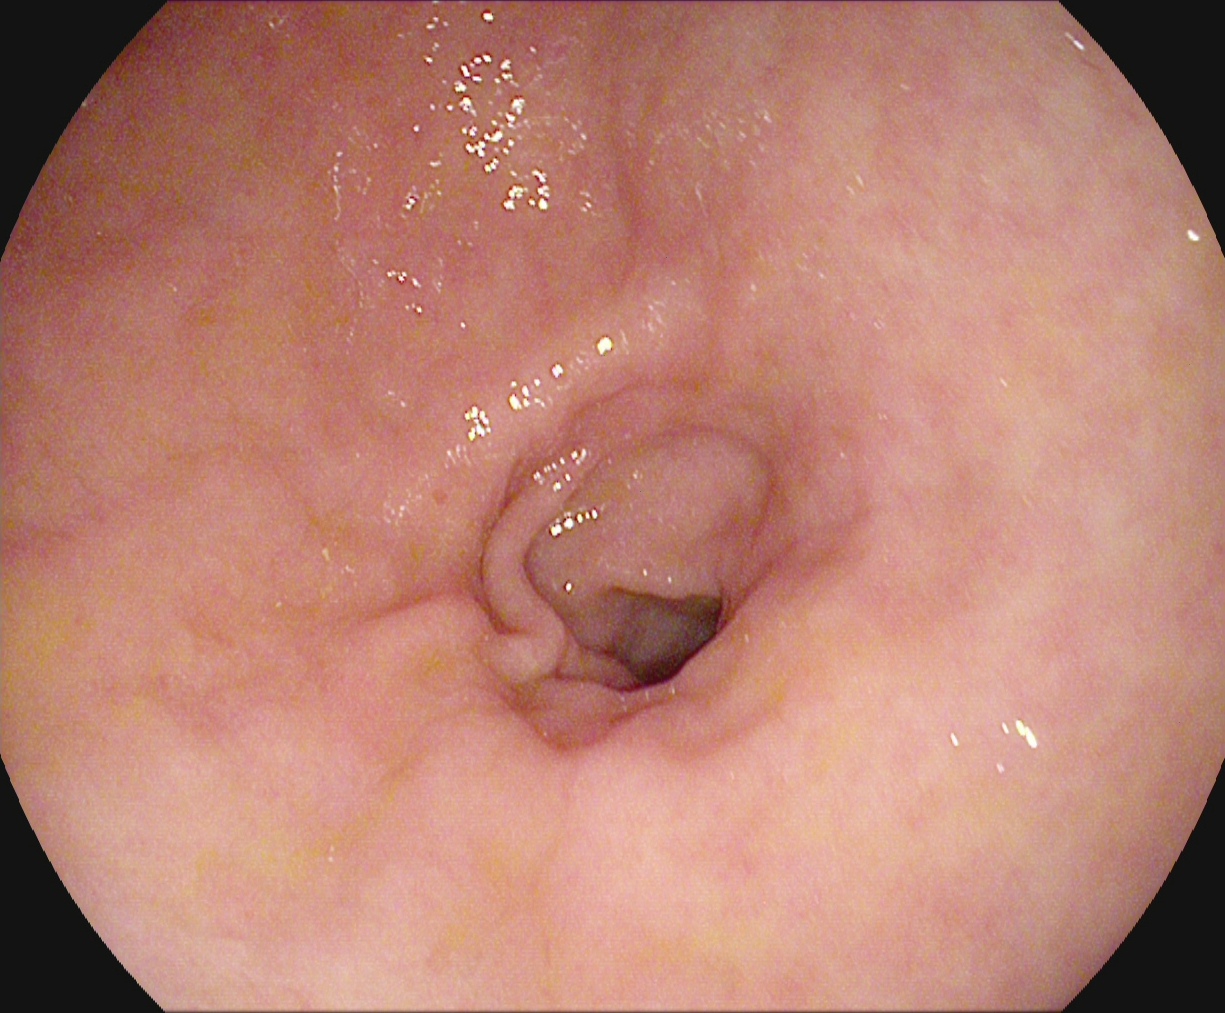modality: gastroscopy | tract: upper GI tract | category: anatomical landmark | finding: pylorus